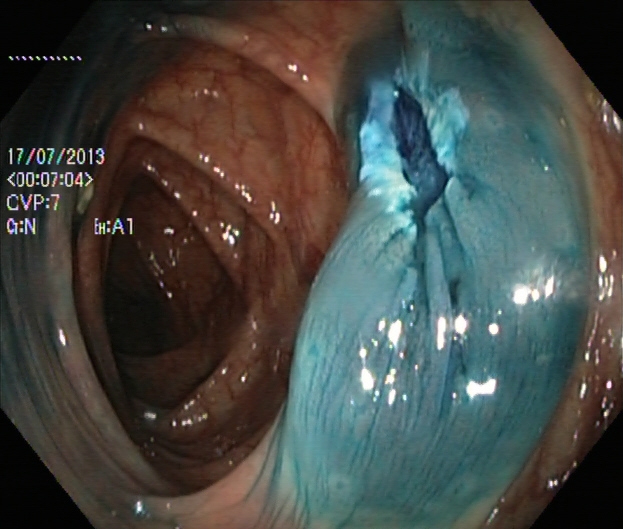Colonoscopy. Finding: dyed resection margins (post-polypectomy).